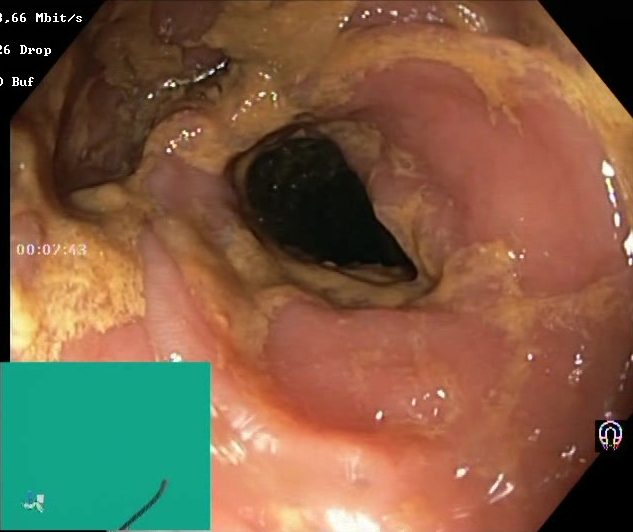Lower gastrointestinal endoscopy image of the lower GI tract showing Boston Bowel Preparation Scale score 0–1 (inadequate preparation).